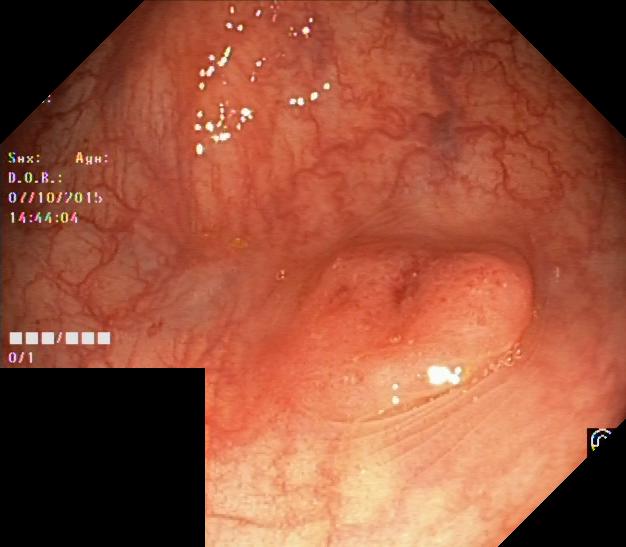Colorectal polyp(s).